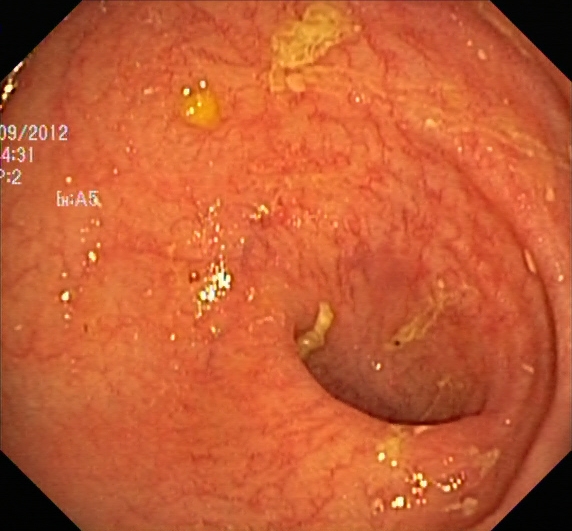modality: colonoscopy; finding: ulcerative colitis, Mayo endoscopic subscore 0–1